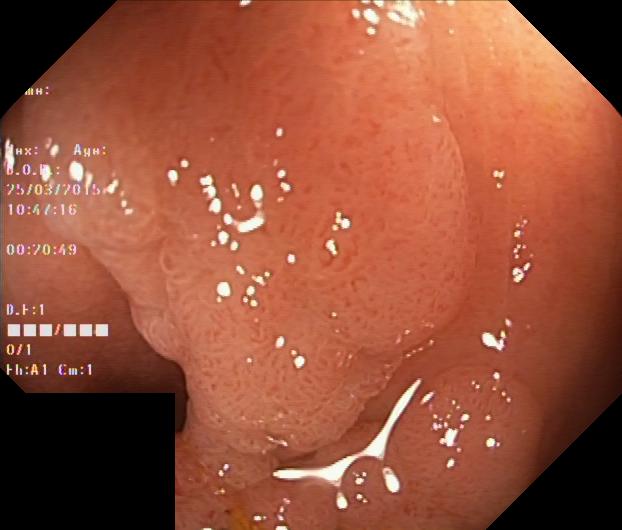modality: lower gastrointestinal endoscopy; tract: lower GI tract; category: pathological finding; finding: colorectal polyp(s)